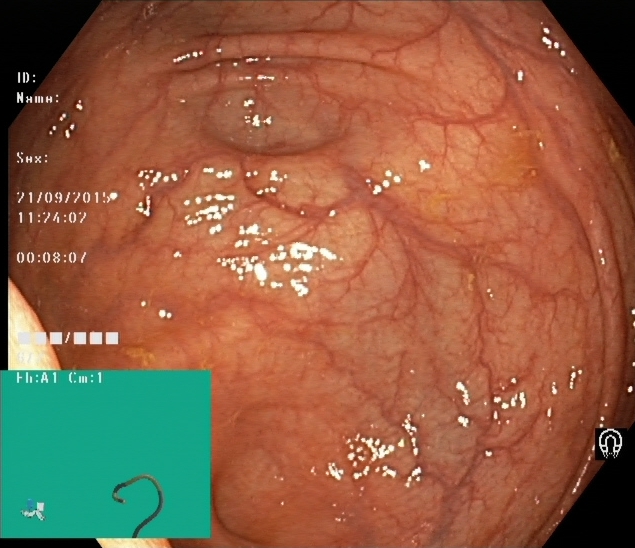{"modality": "colonoscopy", "tract": "lower GI tract", "category": "anatomical landmark", "finding": "cecum"}